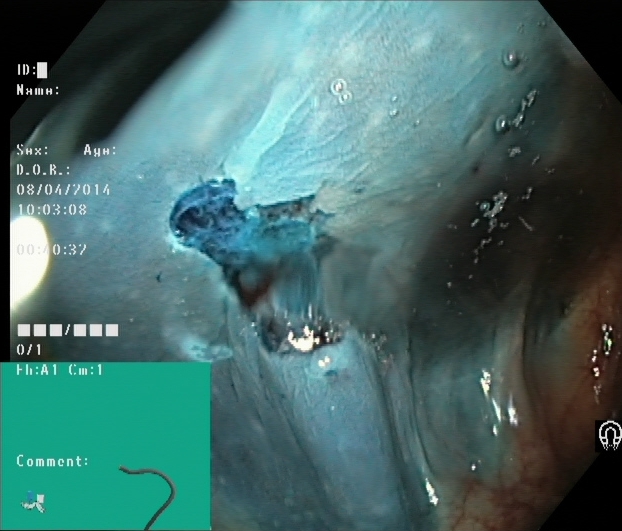Dyed resection margins (post-polypectomy).